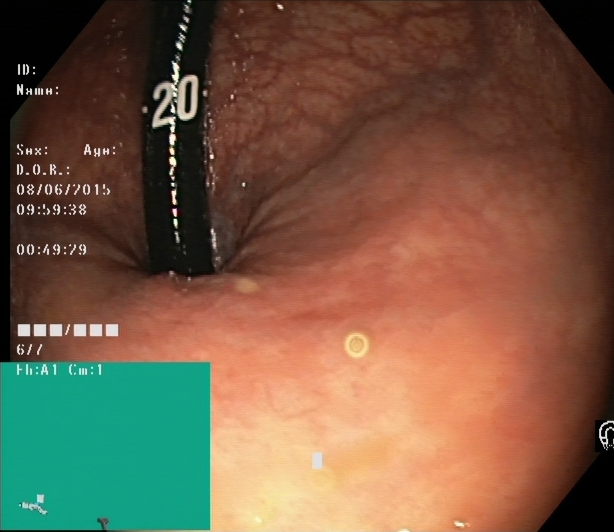modality: lower gastrointestinal endoscopy; tract: lower GI tract; finding: rectum in retroflexion